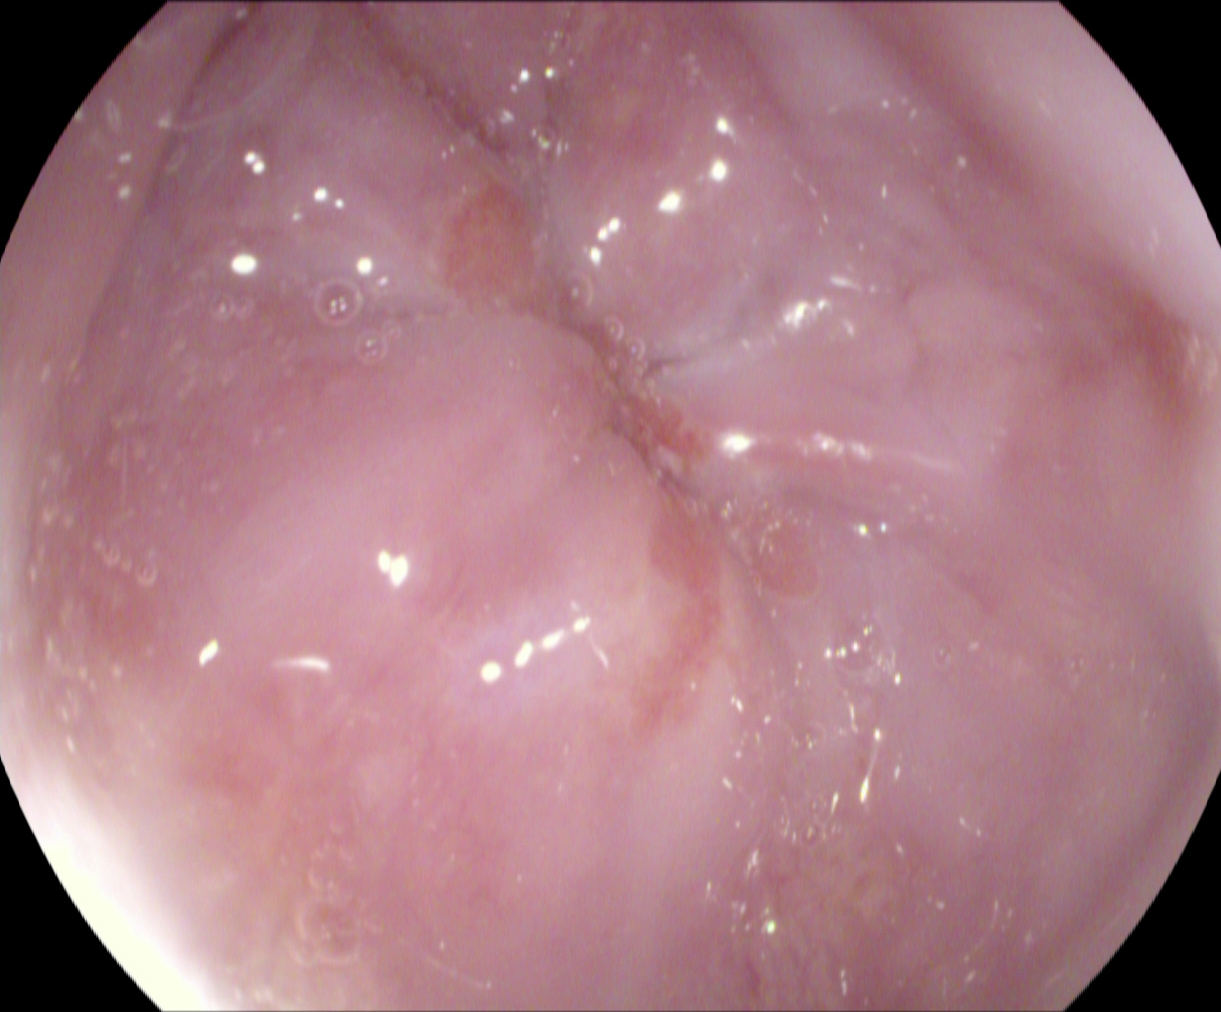Z-line (gastroesophageal junction).